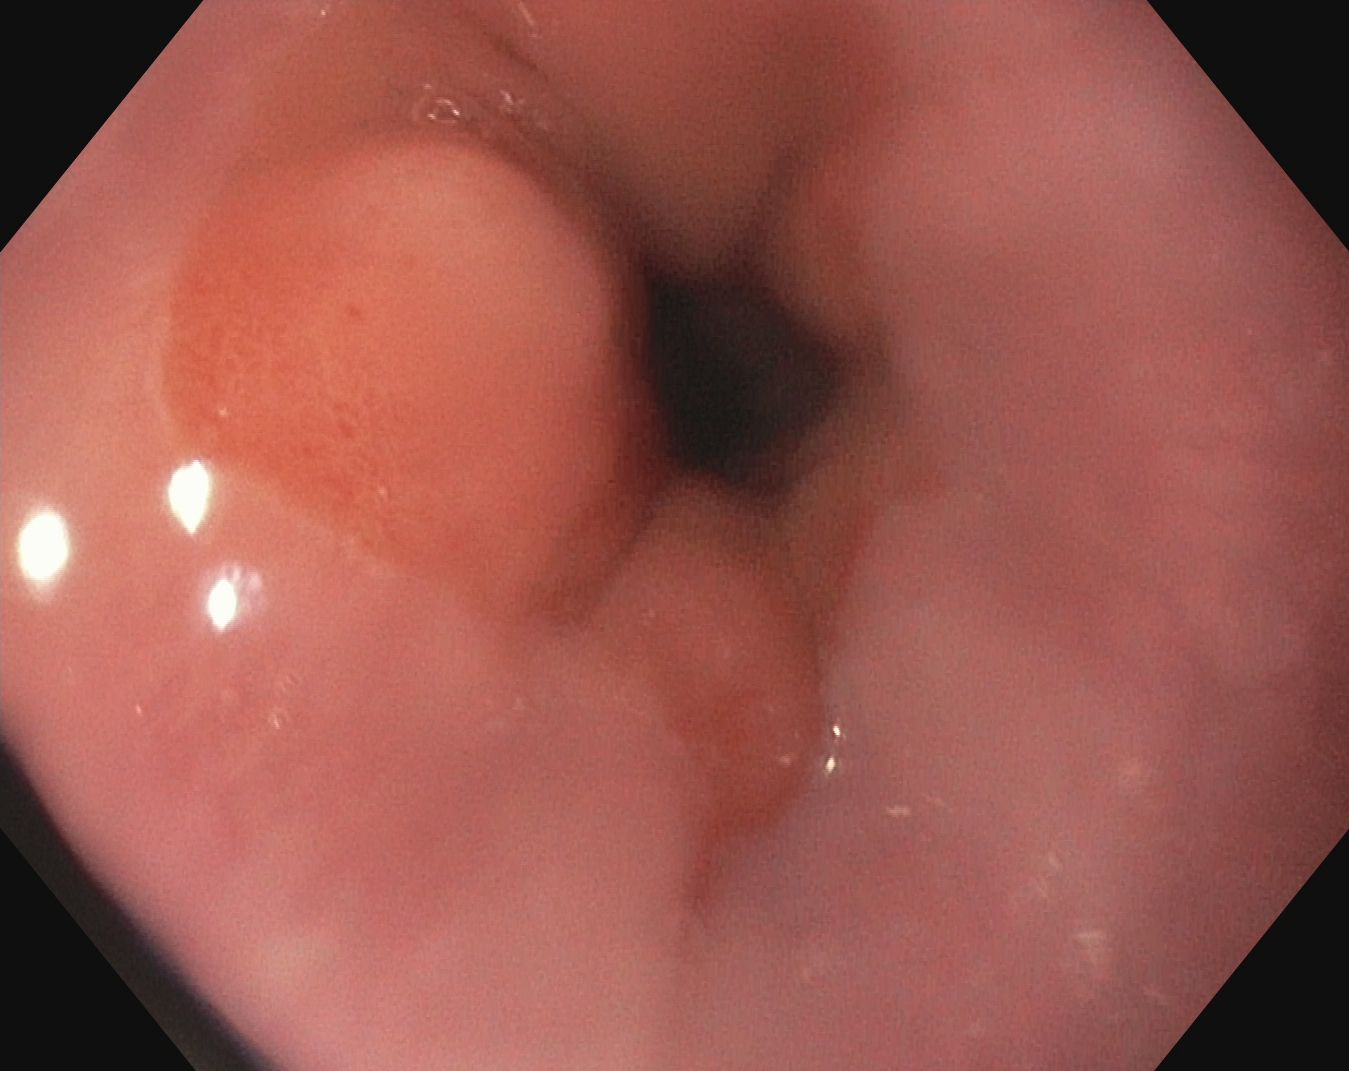{"modality": "esophagogastroduodenoscopy", "tract": "upper GI tract", "category": "anatomical landmark", "finding": "Z-line (gastroesophageal junction)"}